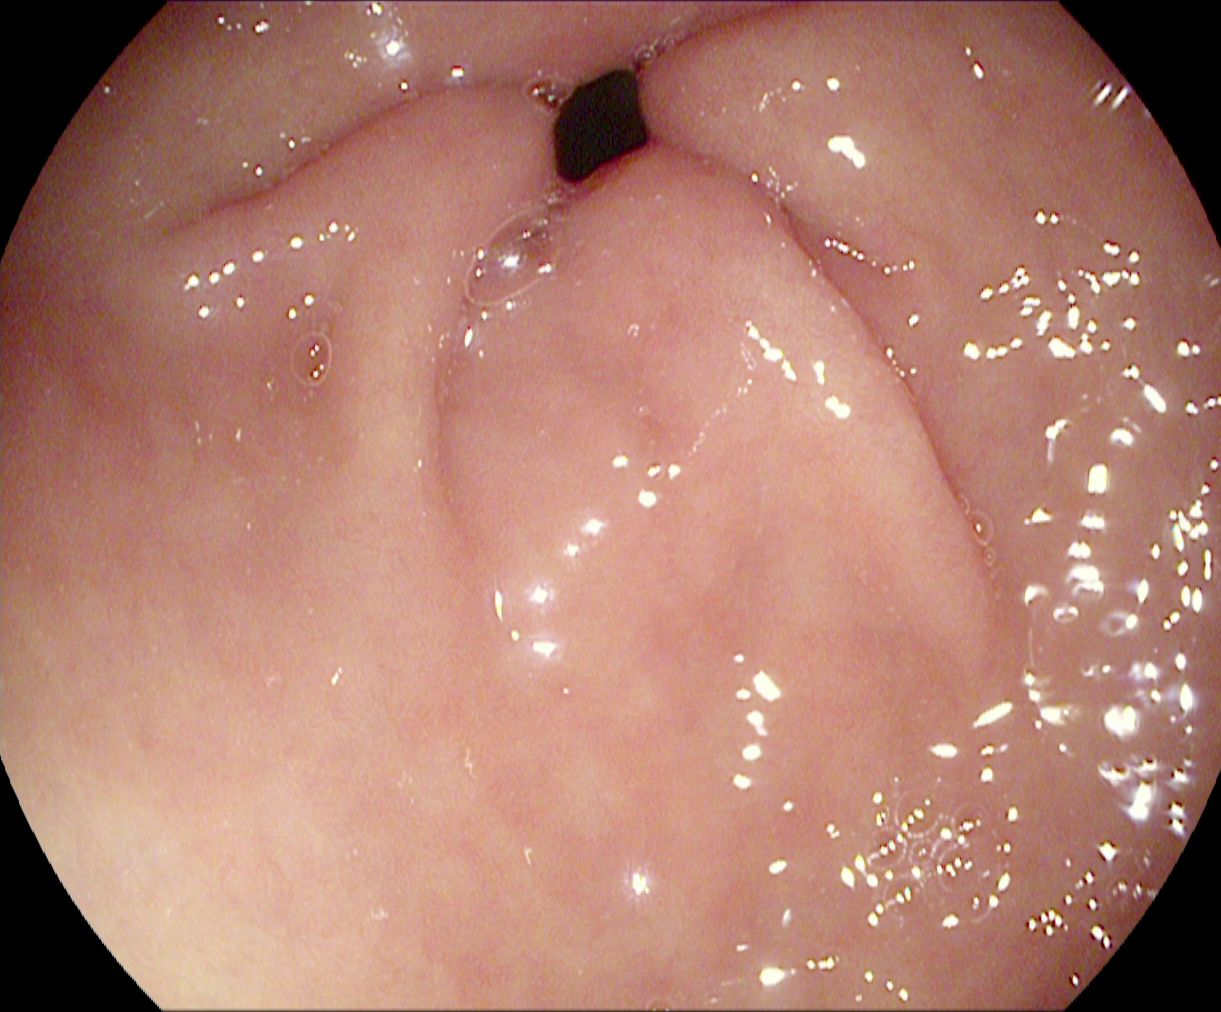This endoscopic image shows pylorus.